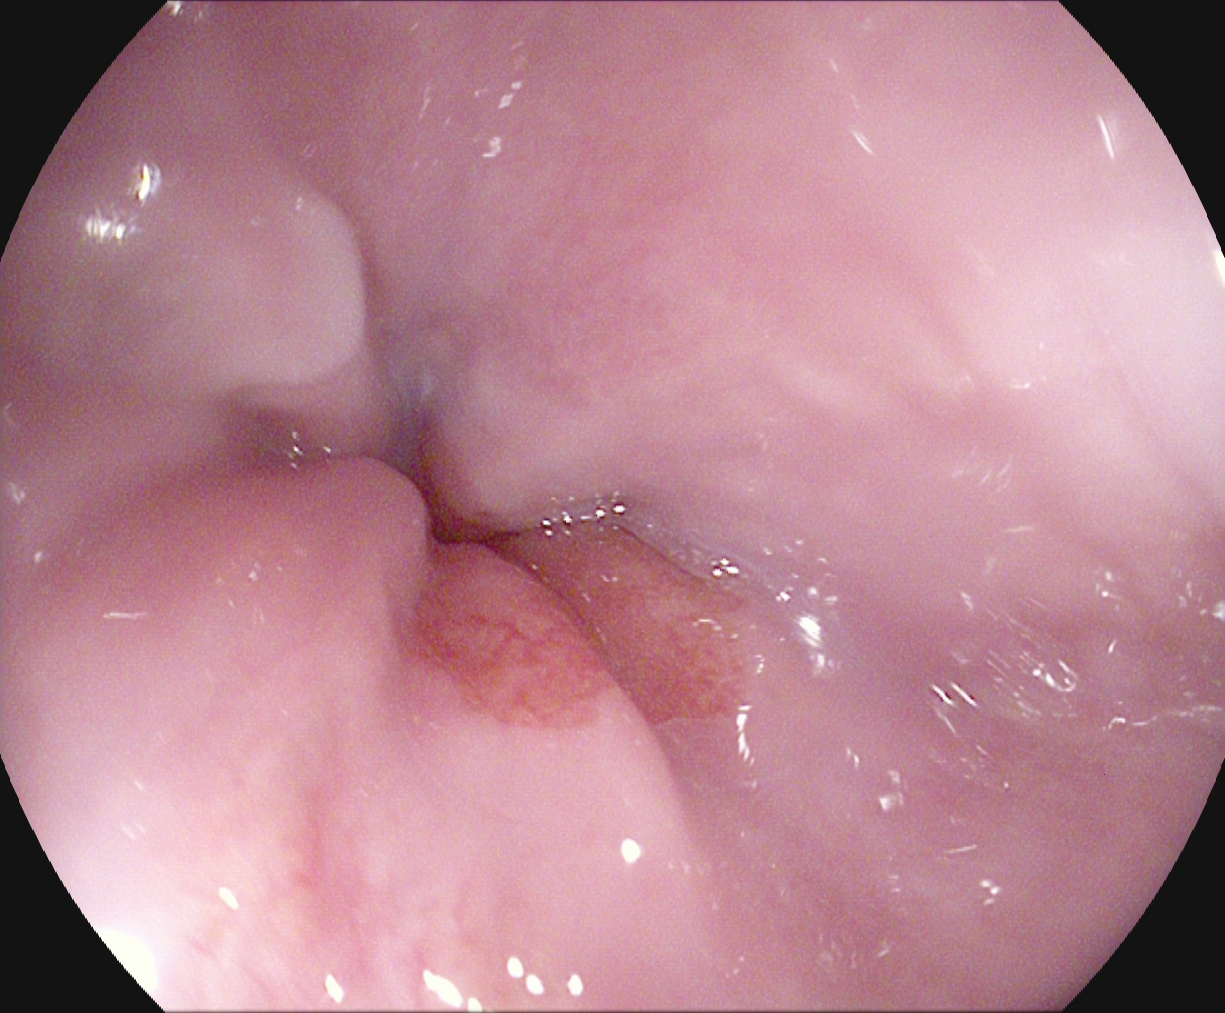modality: upper-GI endoscopy | tract: upper GI tract | category: anatomical landmark | finding: Z-line (gastroesophageal junction)